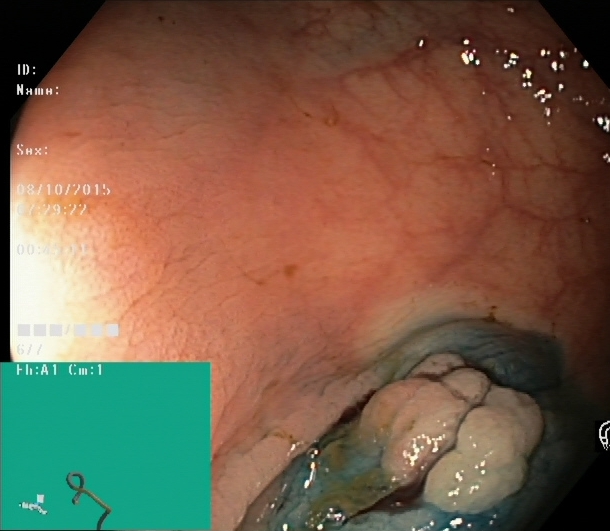{"modality": "colonoscopy", "category": "therapeutic intervention", "finding": "dyed and lifted polyp (pre-resection)"}